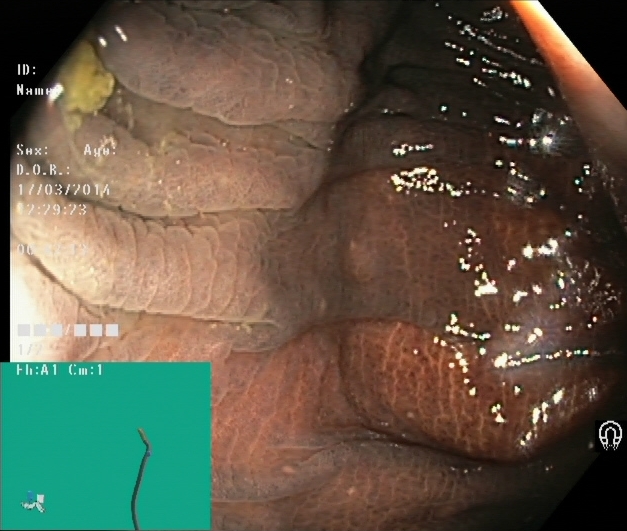Lower-GI endoscopy — dyed and lifted polyp (pre-resection).